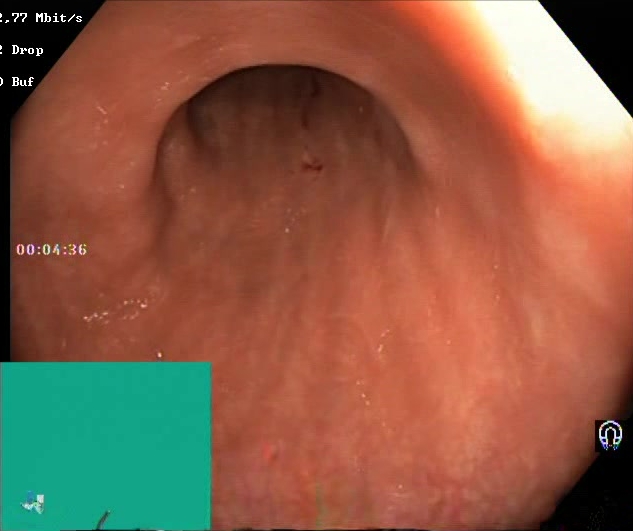{"modality": "lower-GI endoscopy", "tract": "lower GI tract", "category": "mucosal-view quality", "finding": "Boston Bowel Preparation Scale score 2\u20133 (adequate preparation)"}